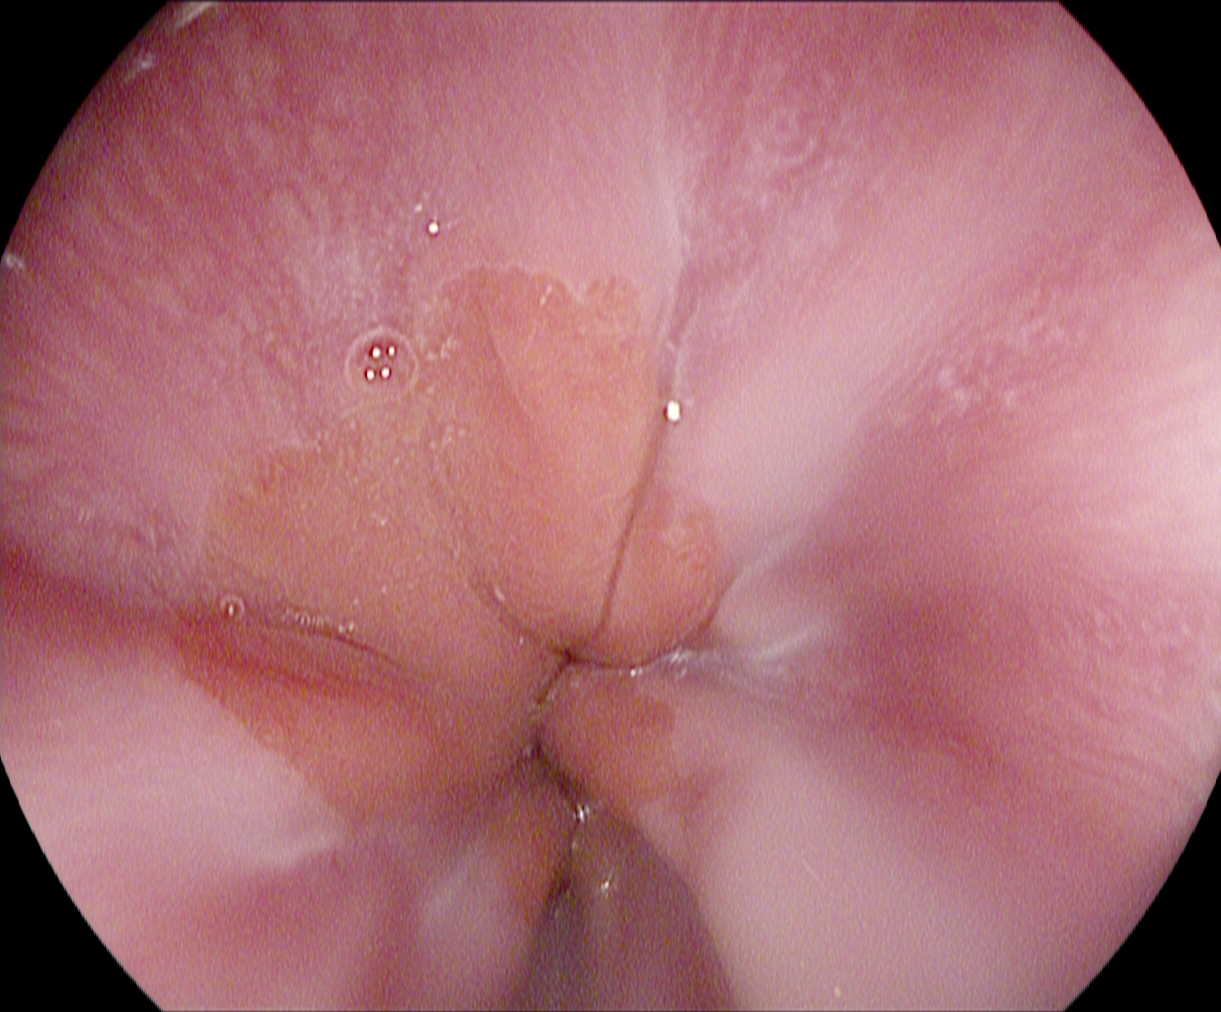Esophagogastroduodenoscopy. Anatomical landmark. Finding: Z-line (gastroesophageal junction).